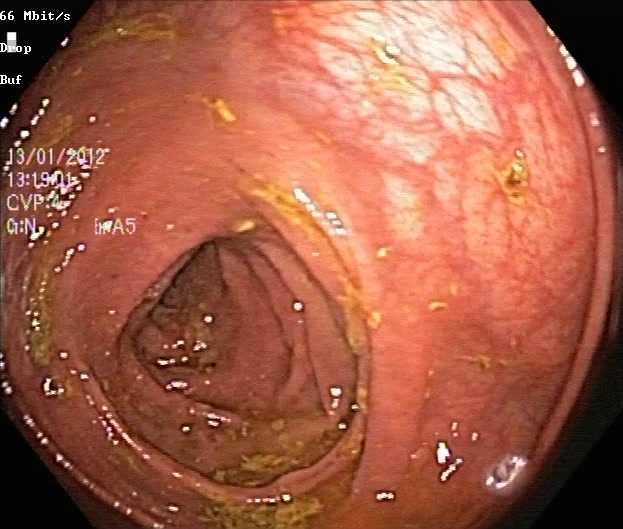This endoscopic image shows UC, Mayo endoscopic subscore 0–1.